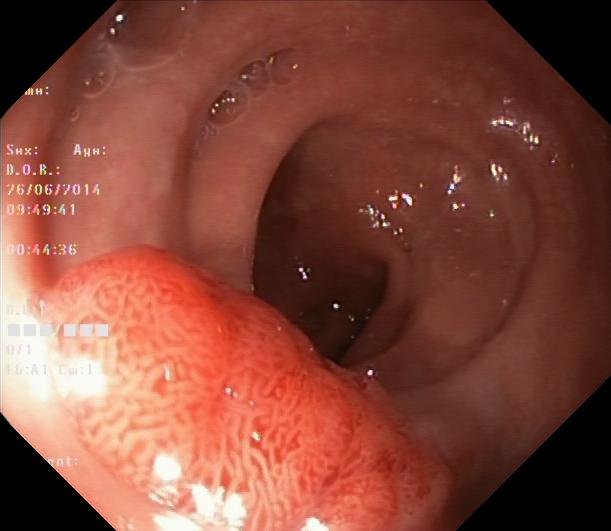modality: lower gastrointestinal endoscopy; tract: lower GI tract; finding: colorectal polyp(s)